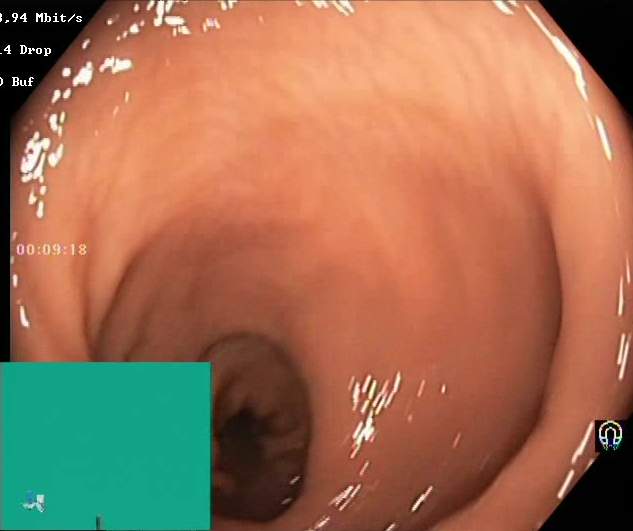Boston Bowel Preparation Scale score 2–3 (adequate preparation).